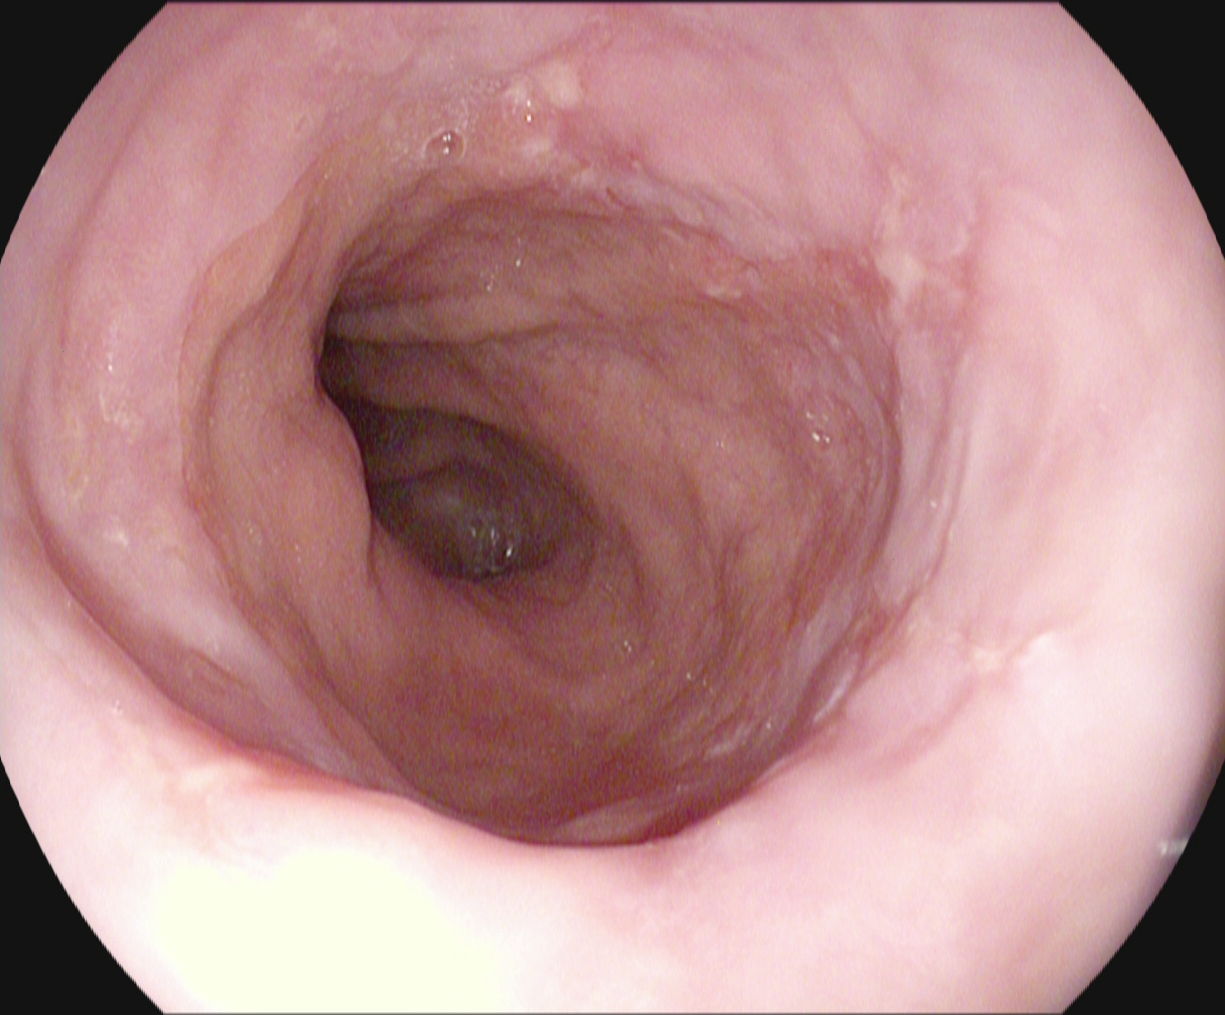modality: upper-GI endoscopy | tract: upper GI tract | category: pathological finding | finding: reflux esophagitis, Los Angeles grade B–D